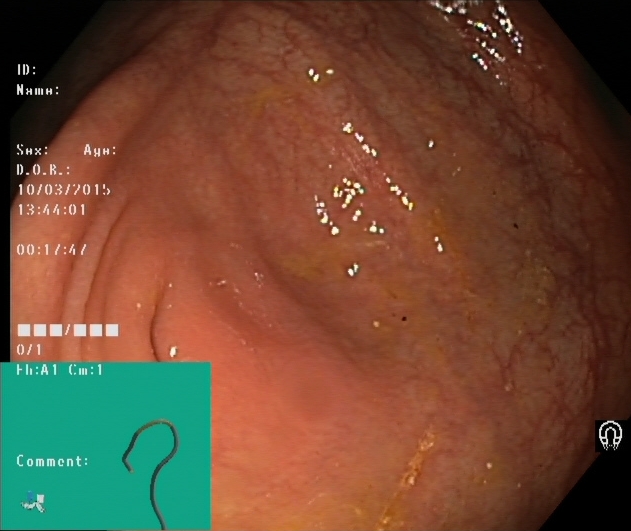modality: lower-GI endoscopy; category: anatomical landmark; finding: cecum